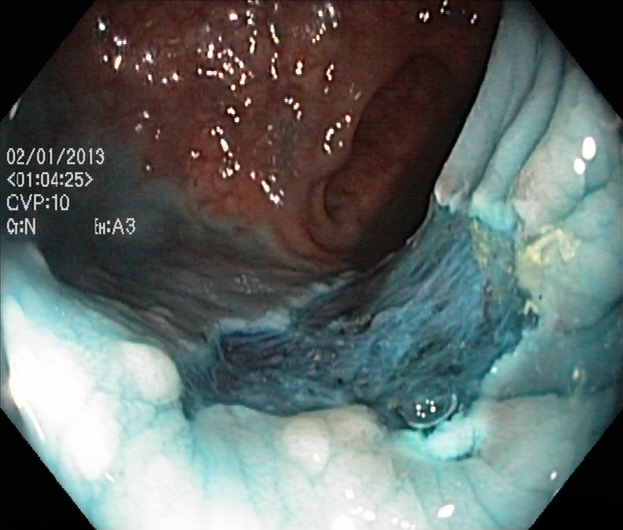{"modality": "colonoscopy", "finding": "dyed resection margins (post-polypectomy)"}